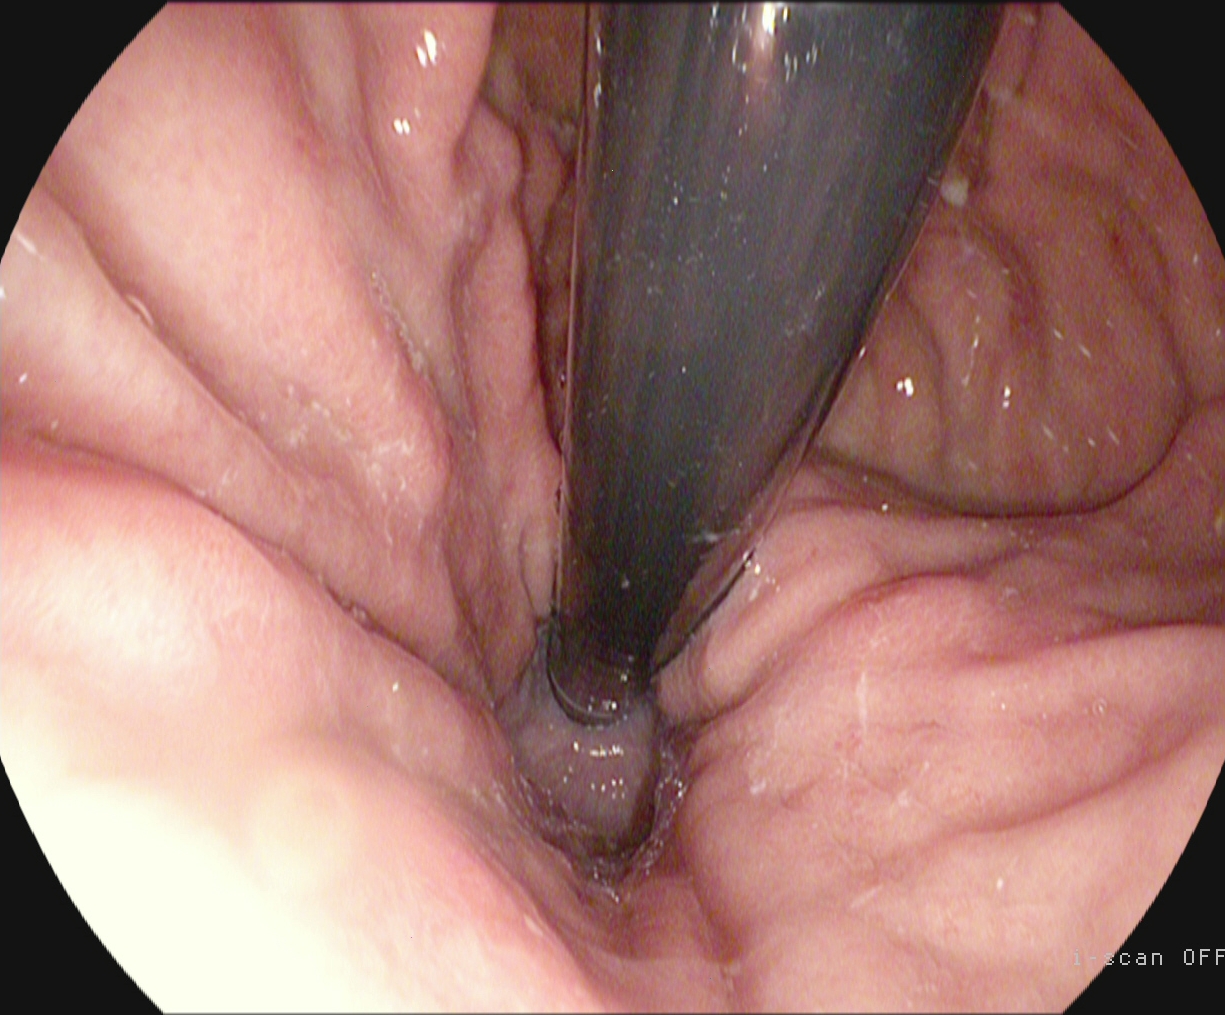Stomach in retroflexion.